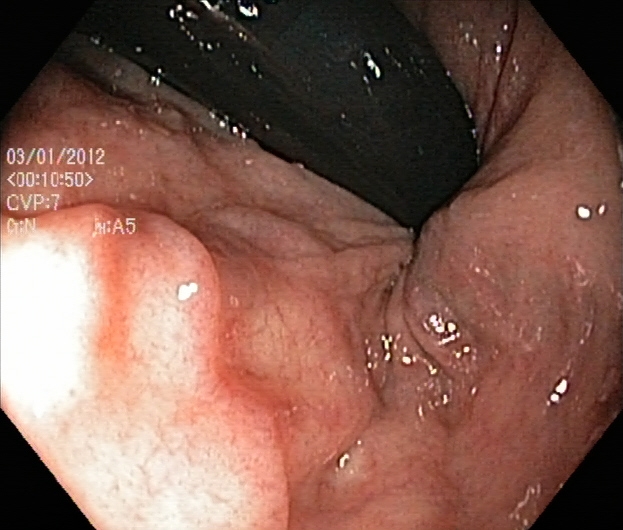Colonoscopy — rectum in retroflexion.